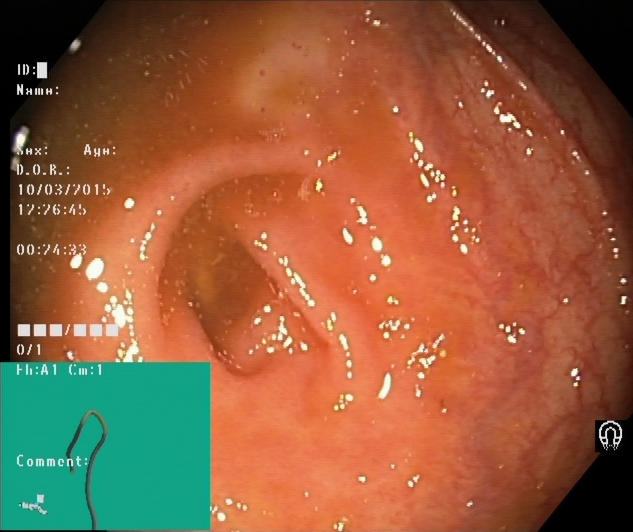PROCEDURE: Lower gastrointestinal endoscopy.
FINDINGS: Cecum.